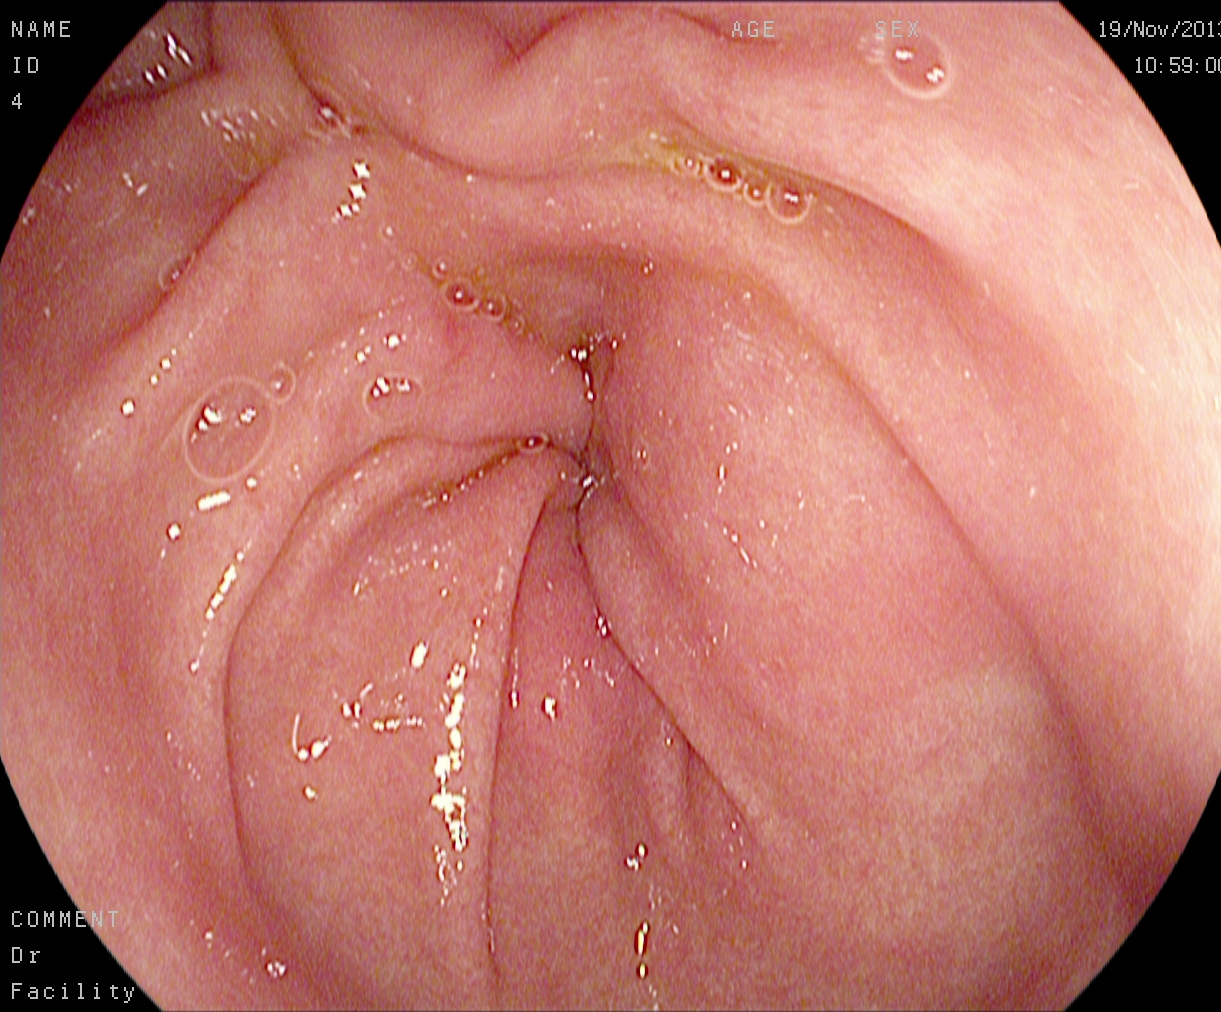{"modality": "gastroscopy", "tract": "upper GI tract", "category": "anatomical landmark", "finding": "pylorus"}